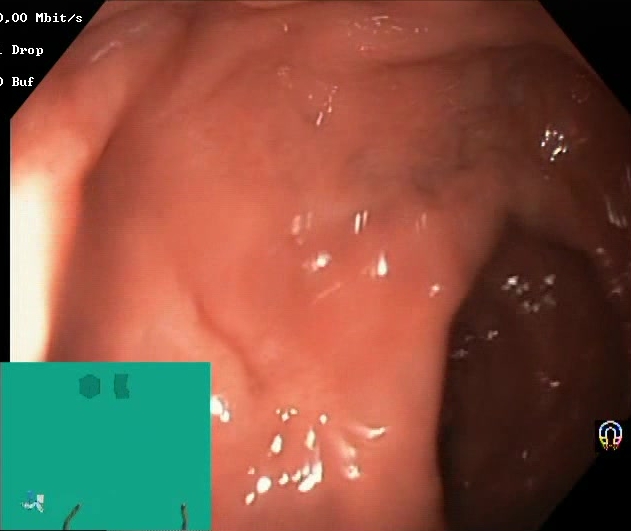modality: colonoscopy; tract: lower GI tract; category: mucosal-view quality; finding: BBPS score 2–3 (adequate preparation)